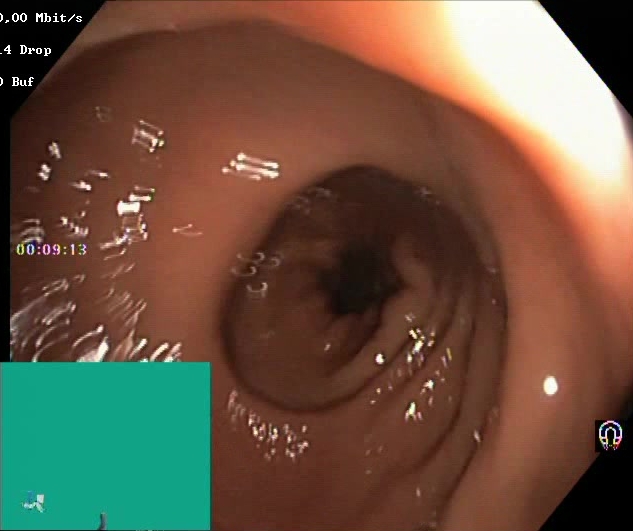PROCEDURE: Lower gastrointestinal endoscopy.
CATEGORY: Mucosal-view quality.
FINDINGS: Boston Bowel Preparation Scale score 2–3 (adequate preparation).